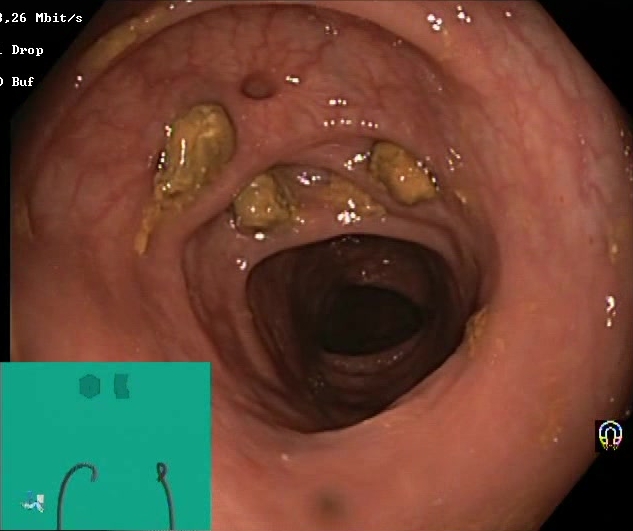{"modality": "lower-GI endoscopy", "tract": "lower GI tract", "category": "mucosal-view quality", "finding": "impacted stool"}